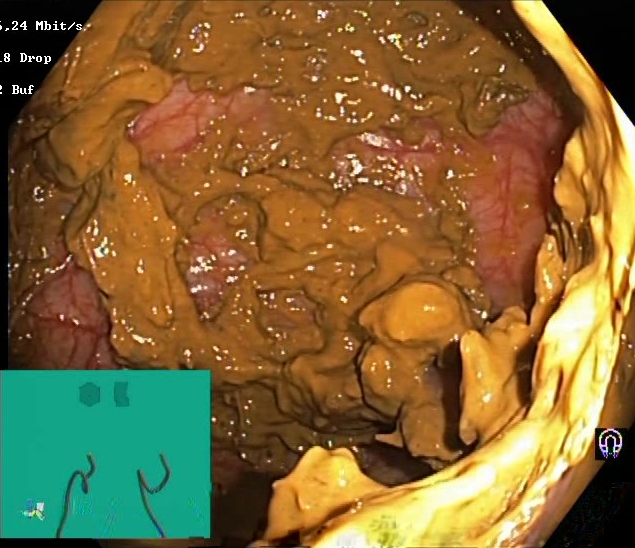Boston Bowel Preparation Scale score 0–1 (inadequate preparation).